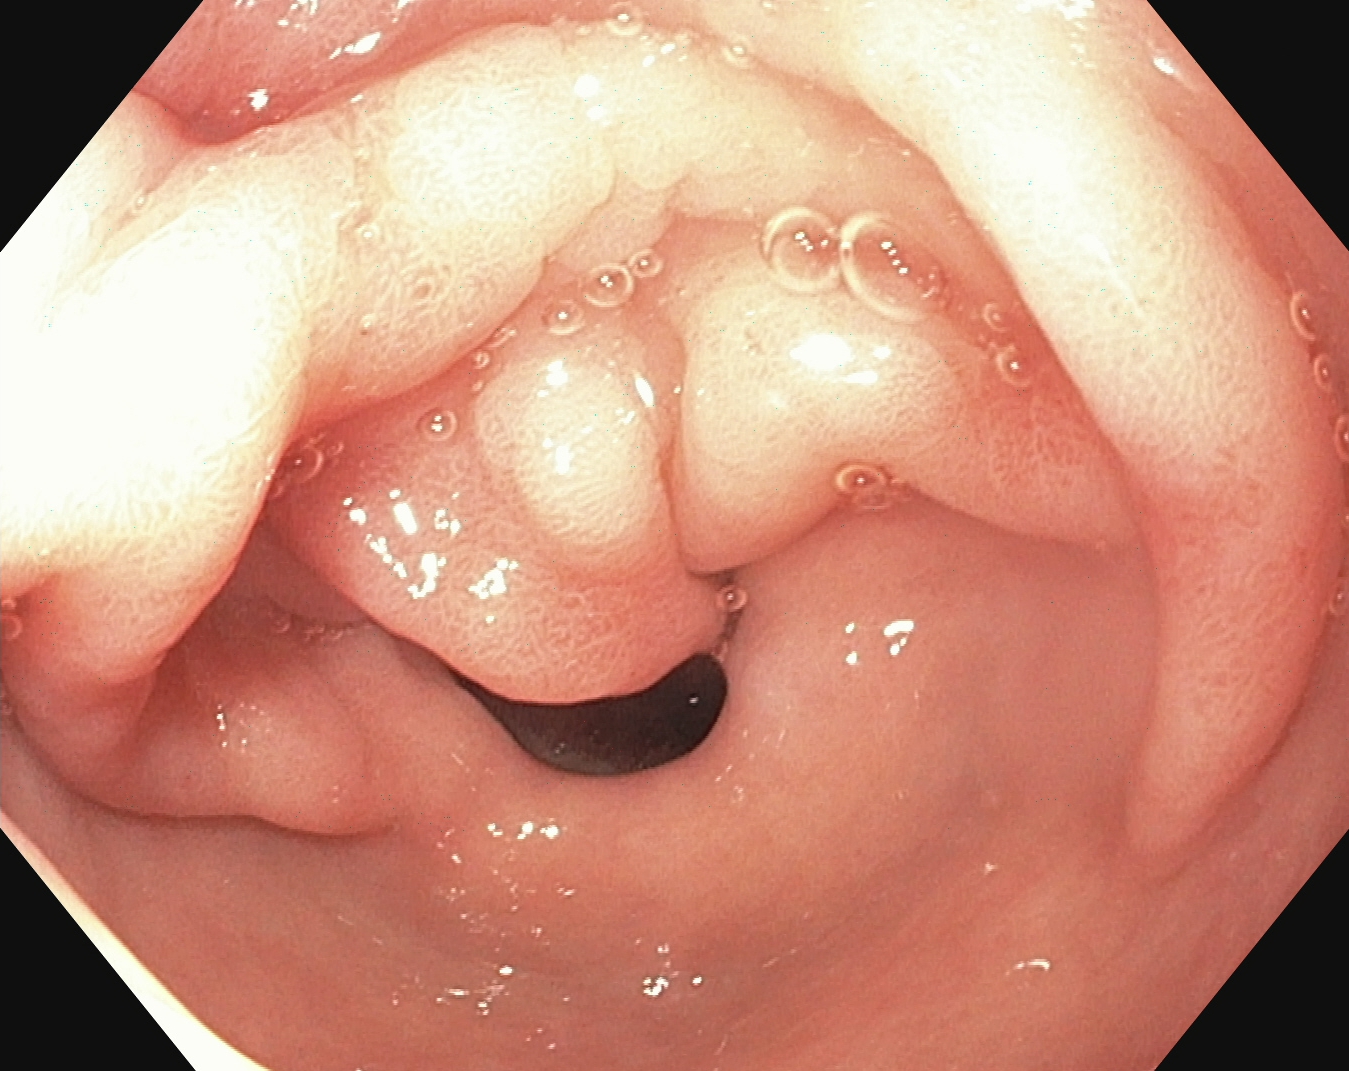Esophagogastroduodenoscopy — pylorus.